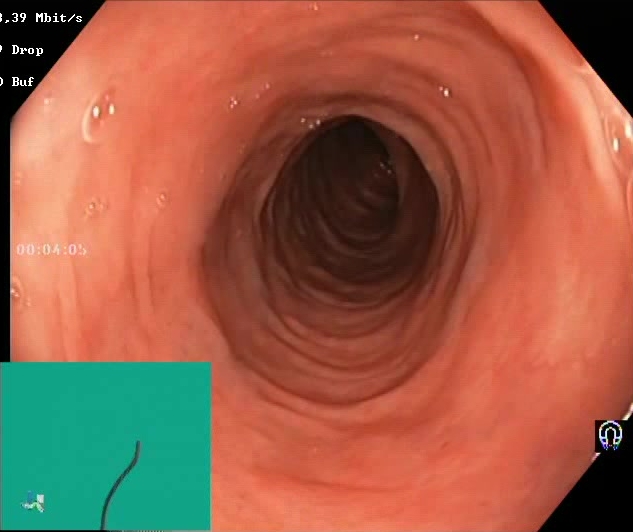Colonoscopy — Boston Bowel Preparation Scale score 2–3 (adequate preparation).